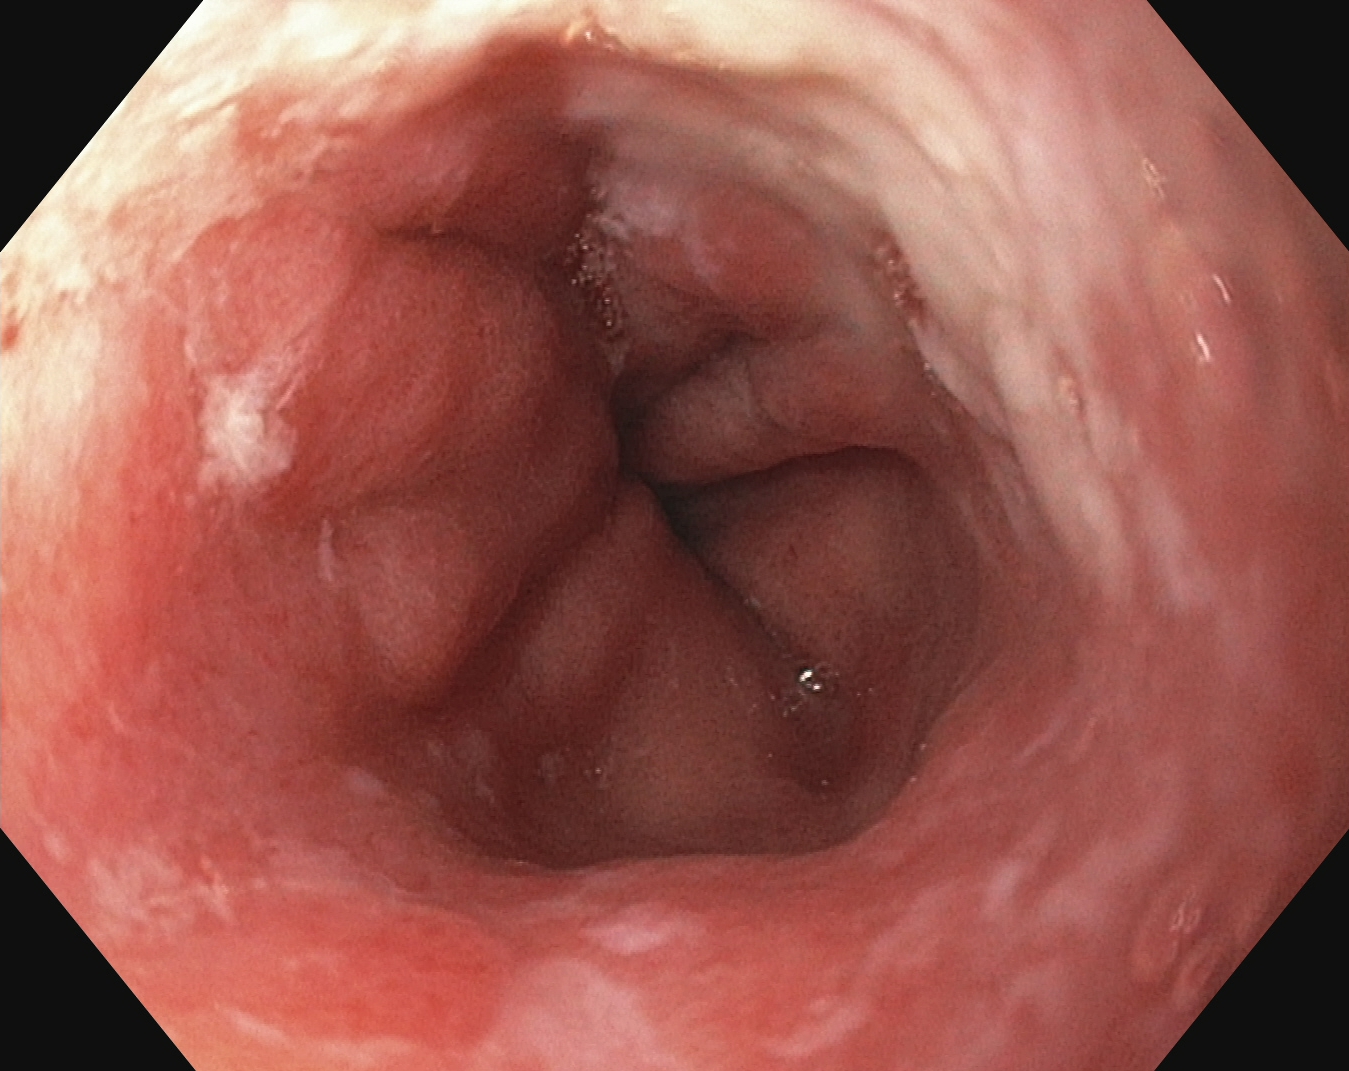Gastroscopy image showing Barrett's esophagus.